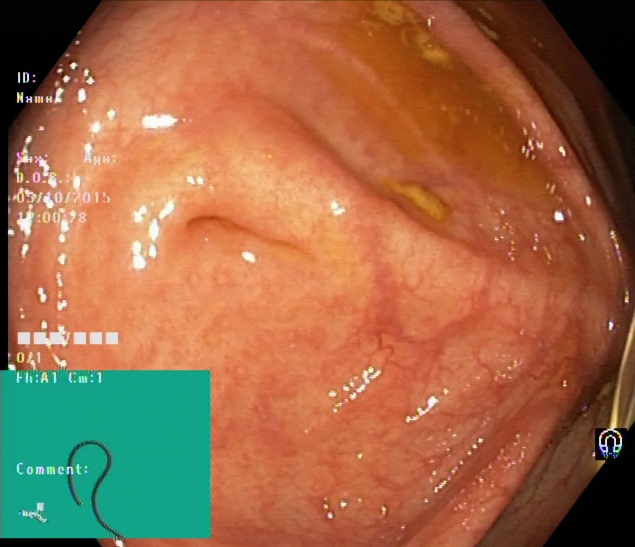Colonoscopy image of the lower GI tract showing cecum.